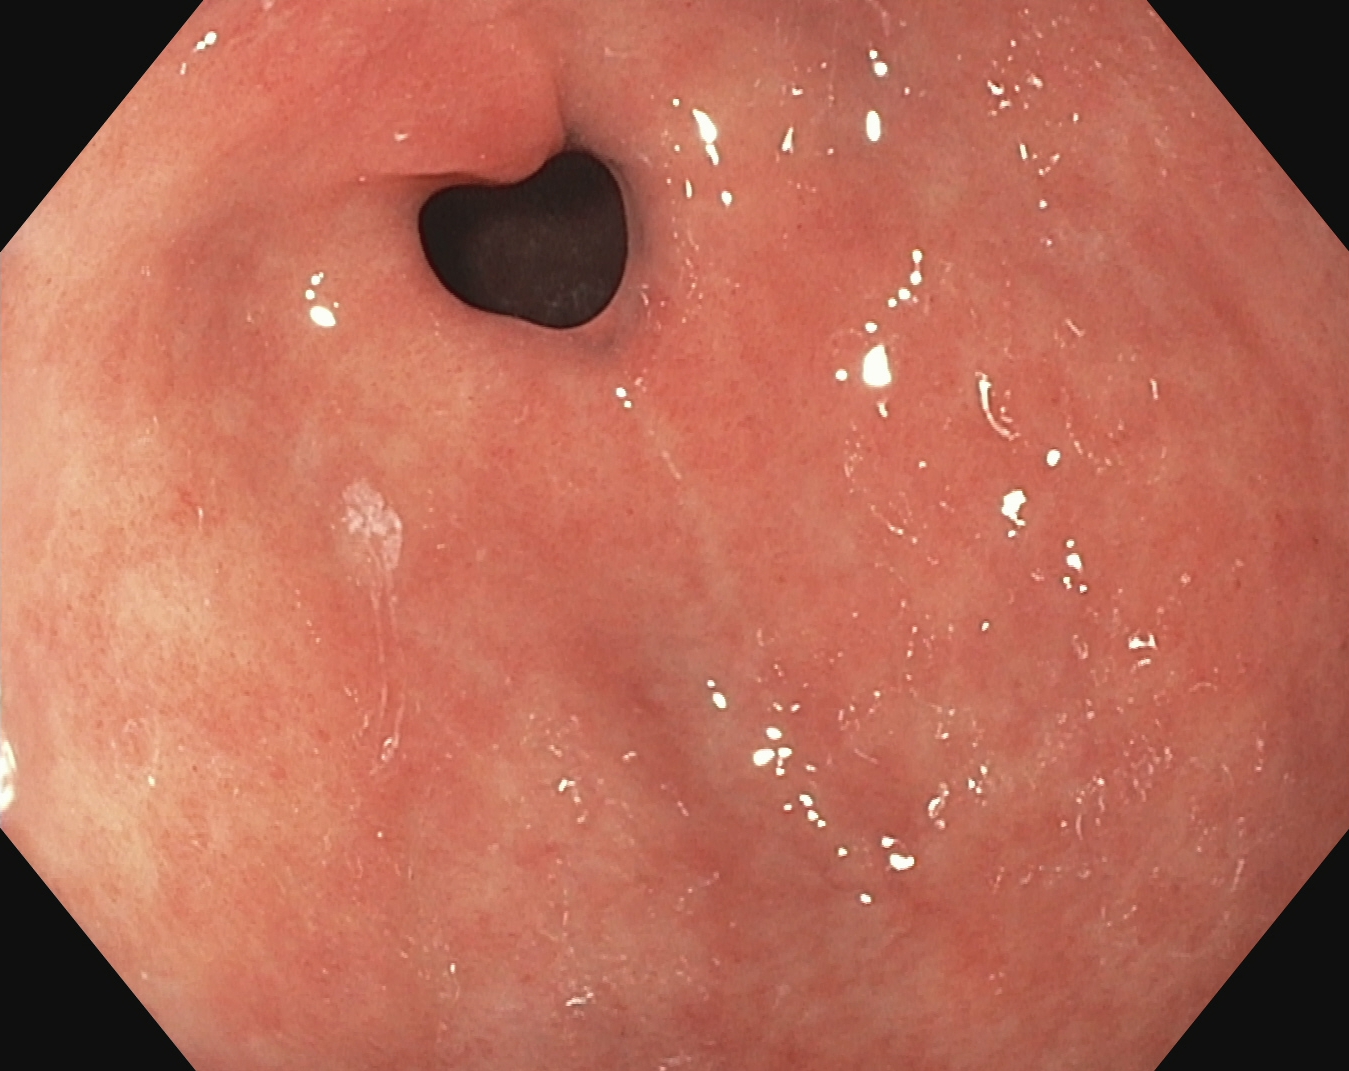Pylorus.